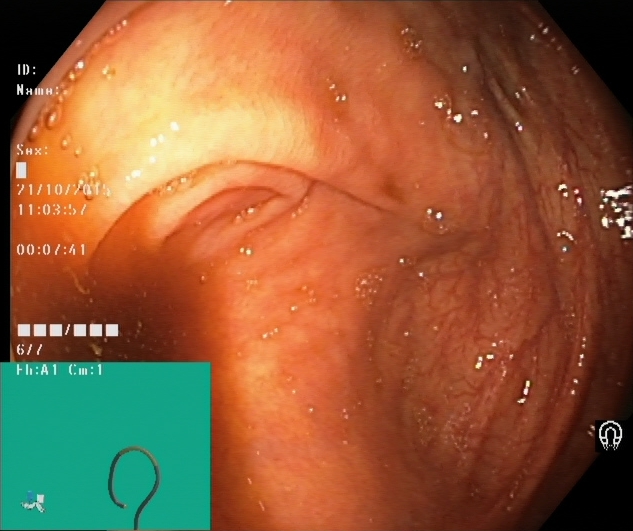modality: lower gastrointestinal endoscopy | tract: lower GI tract | finding: cecum